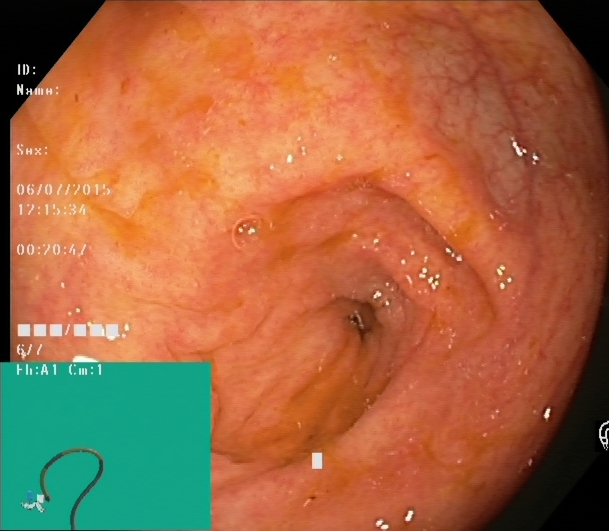This endoscopic image shows cecum.